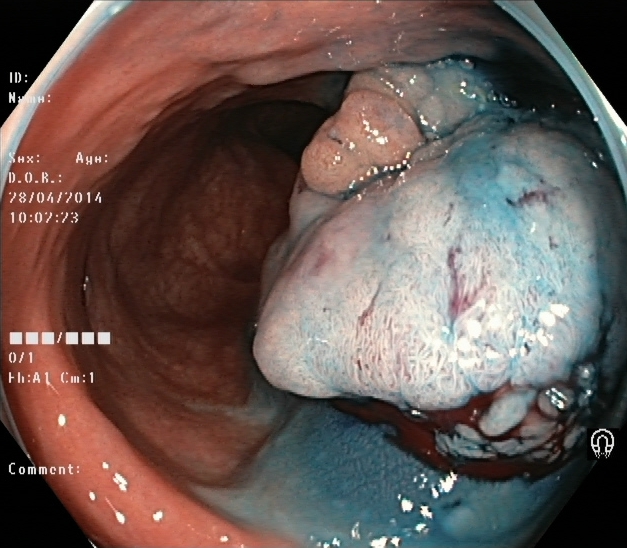{"modality": "lower-GI endoscopy", "tract": "lower GI tract", "category": "therapeutic intervention", "finding": "dyed and lifted polyp (pre-resection)"}